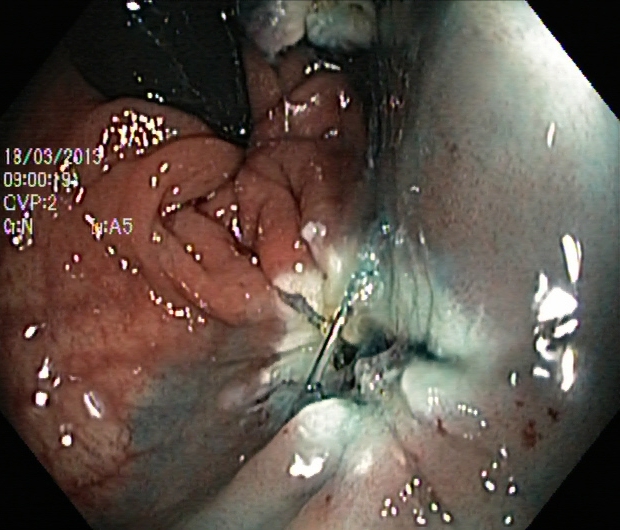modality: colonoscopy; category: therapeutic intervention; finding: dyed resection margins (post-polypectomy)